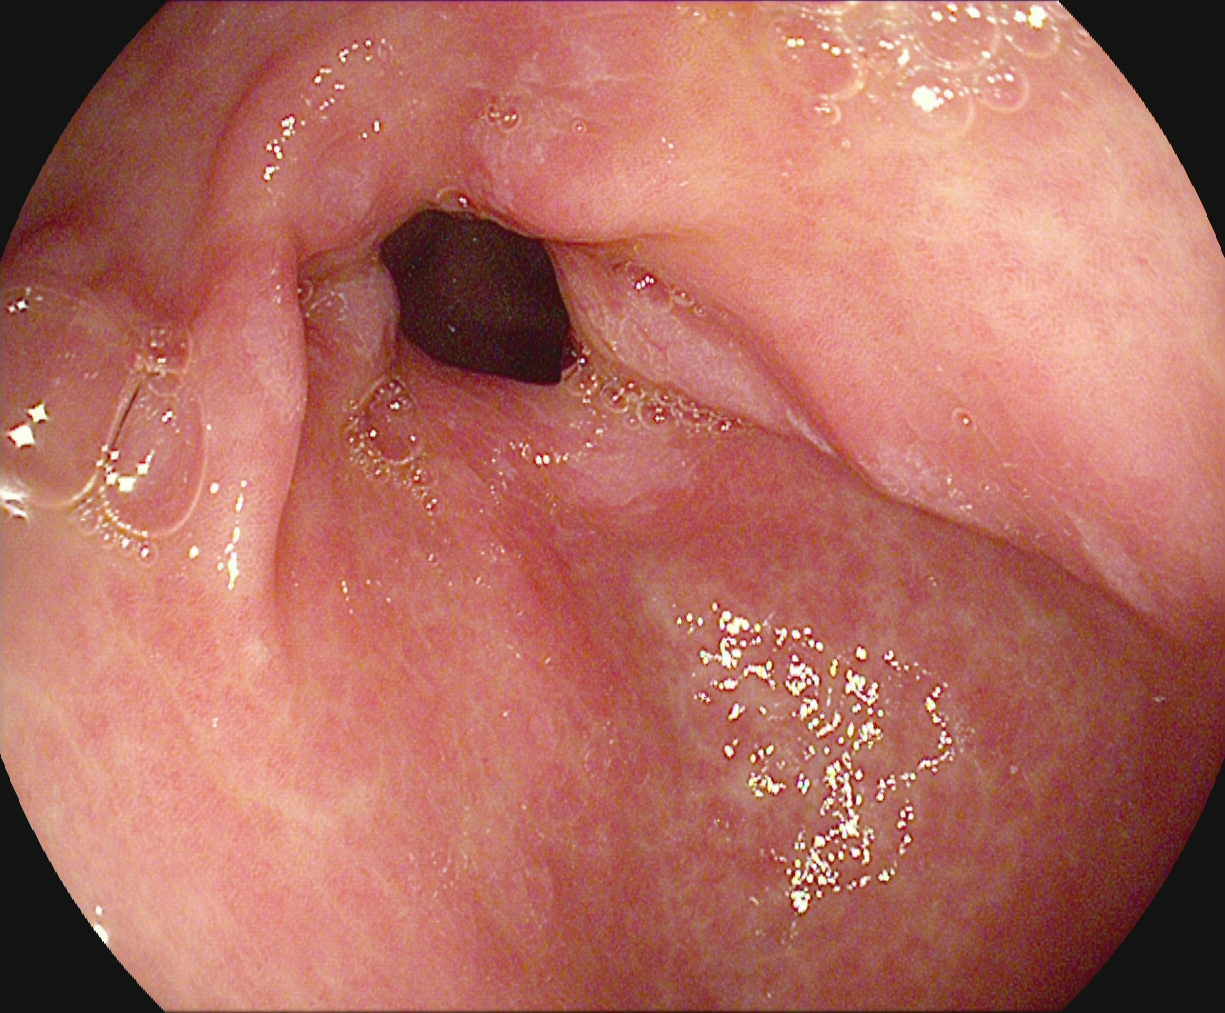modality: esophagogastroduodenoscopy; category: anatomical landmark; finding: pylorus